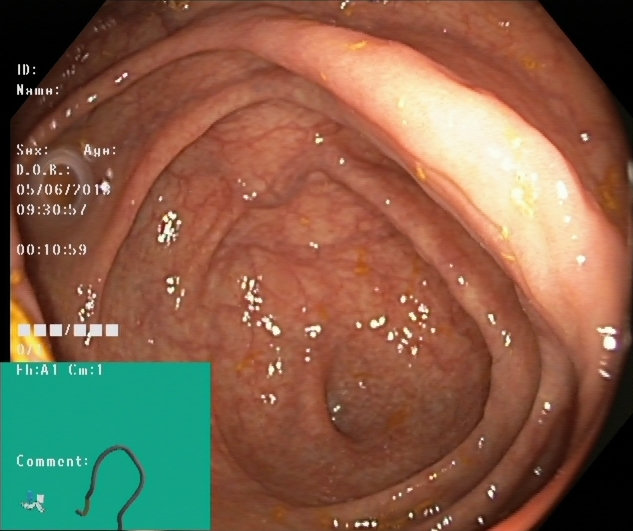This endoscopy frame shows cecum.